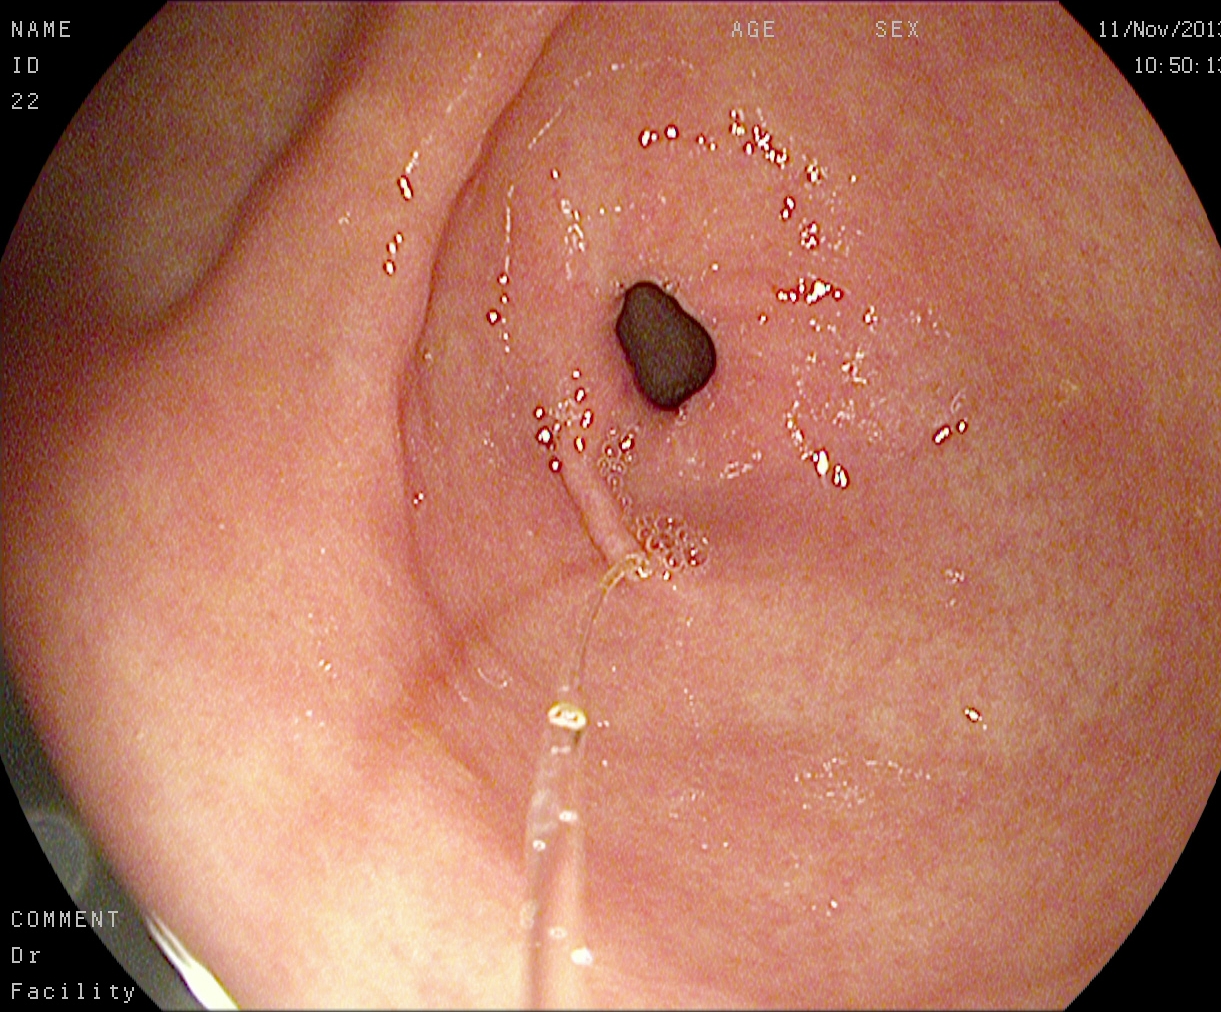{"modality": "EGD", "category": "anatomical landmark", "finding": "pylorus"}